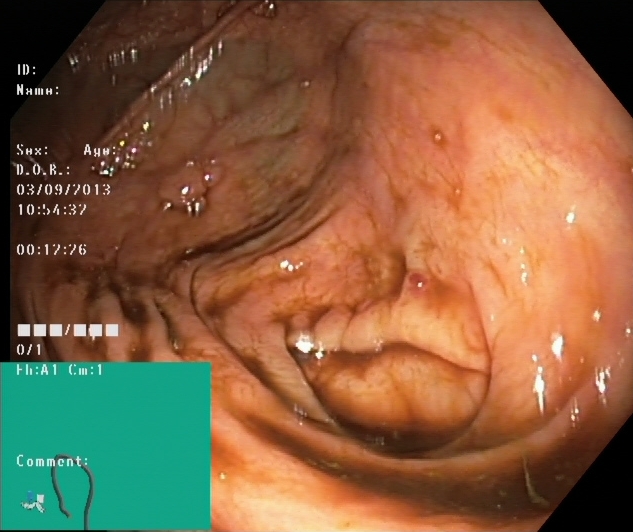{"modality": "colonoscopy", "category": "anatomical landmark", "finding": "cecum"}